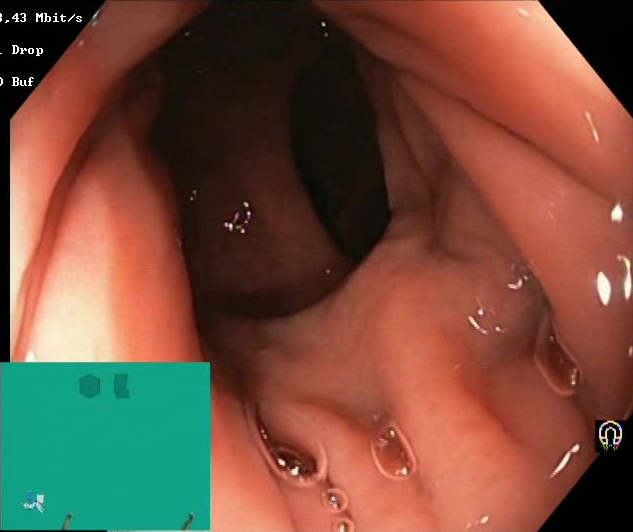This endoscopic image shows BBPS score 2–3 (adequate preparation).